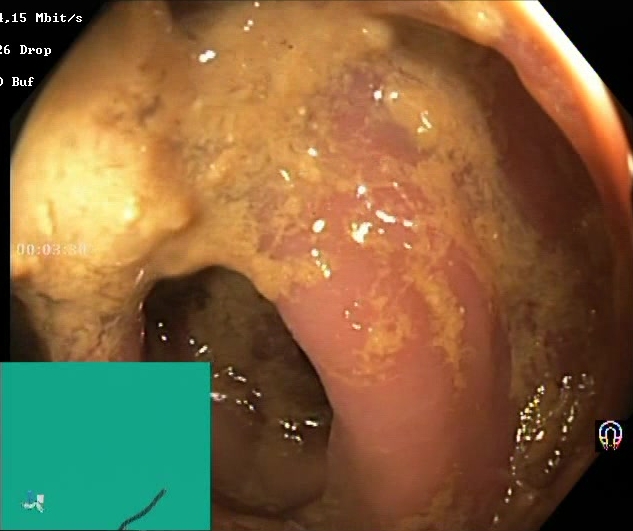modality: lower-GI endoscopy | tract: lower GI tract | finding: Boston Bowel Preparation Scale score 0–1 (inadequate preparation)